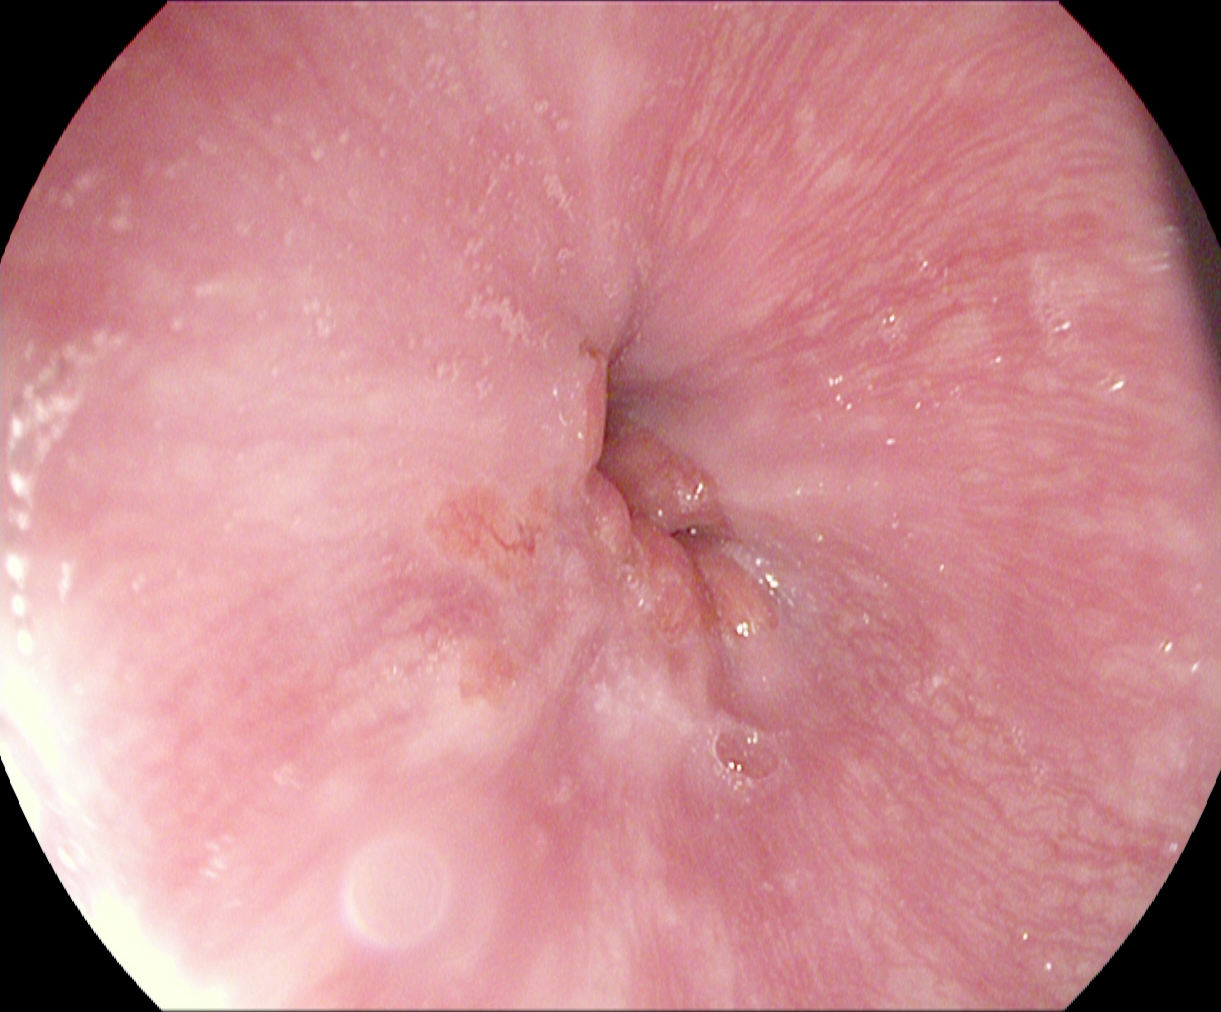This endoscopy frame of the upper GI tract shows Z-line (gastroesophageal junction).